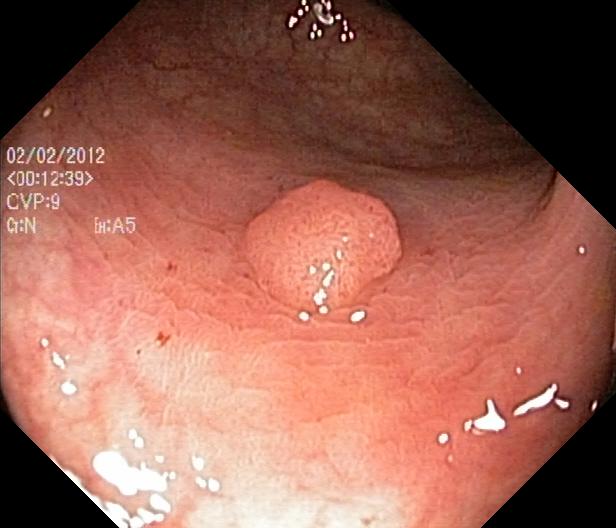This endoscopy frame of the lower GI tract shows colorectal polyp(s).